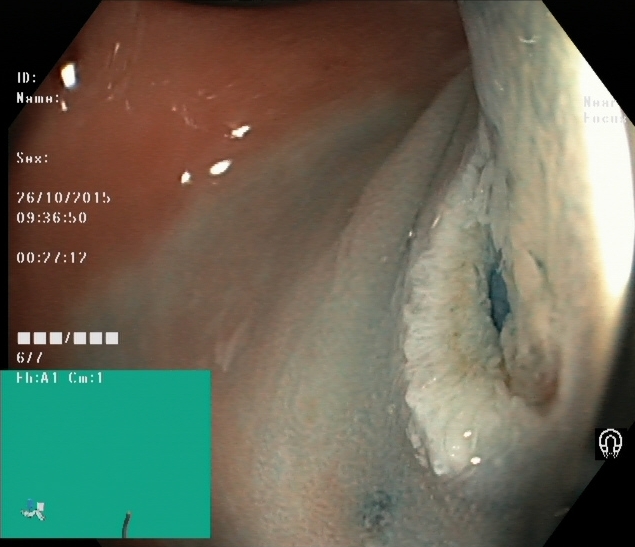{"modality": "lower-GI endoscopy", "tract": "lower GI tract", "category": "therapeutic intervention", "finding": "dyed and lifted polyp (pre-resection)"}